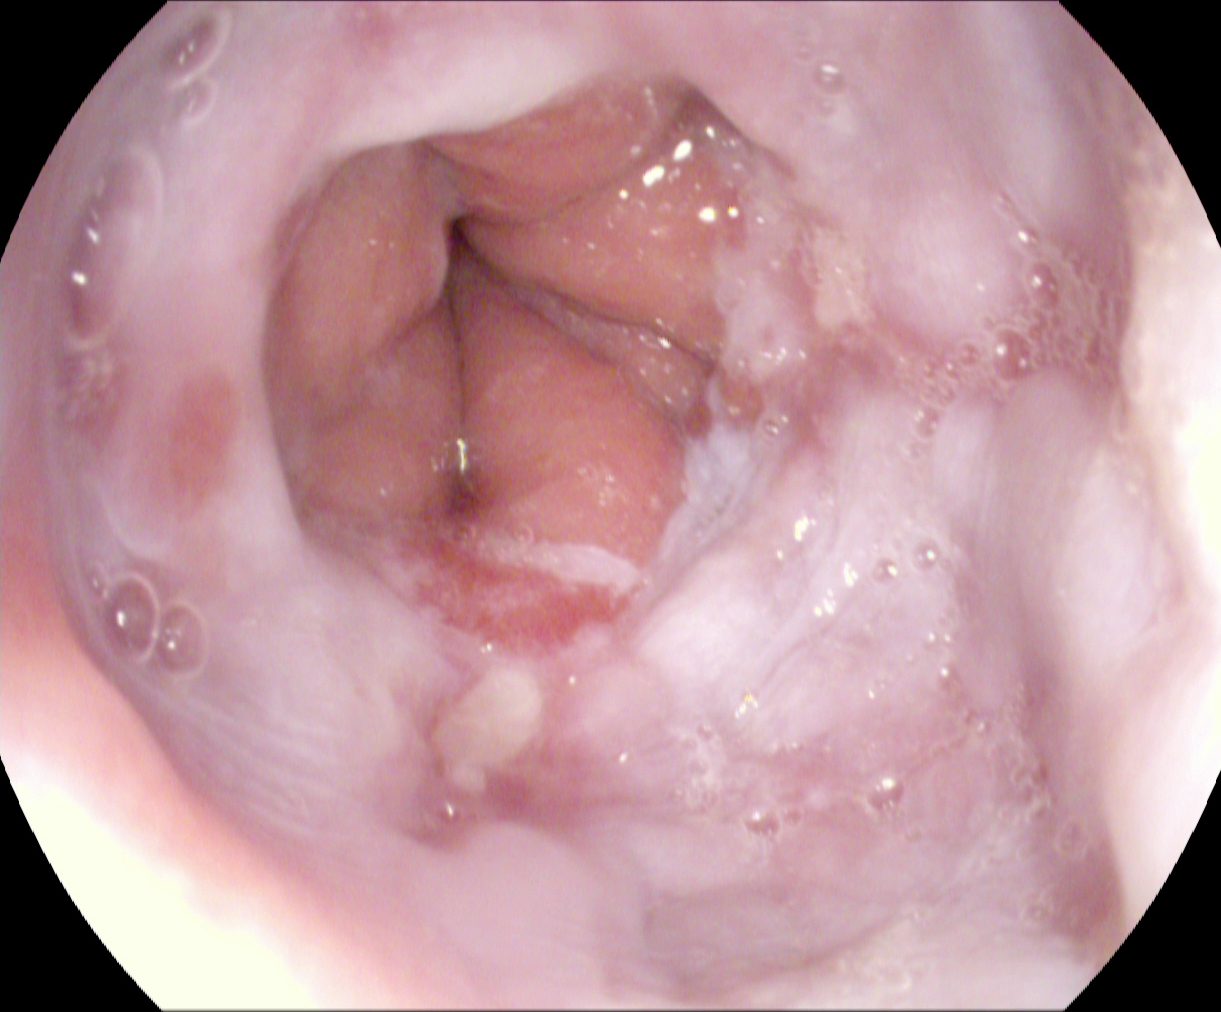{"modality": "gastroscopy", "tract": "upper GI tract", "finding": "reflux esophagitis, LA grade B\u2013D"}